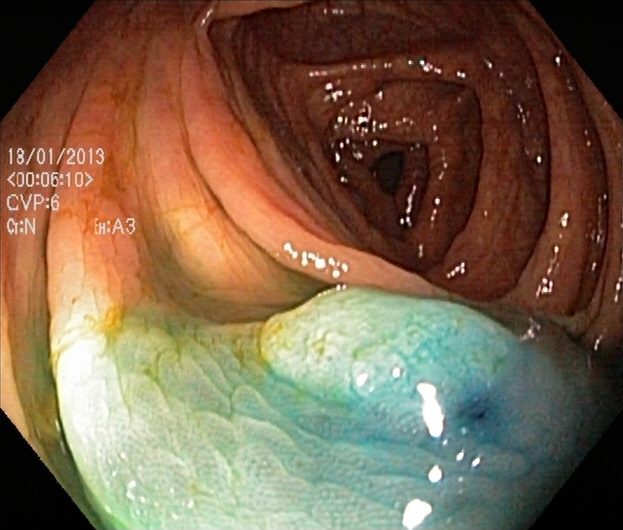Dyed and lifted polyp (pre-resection).